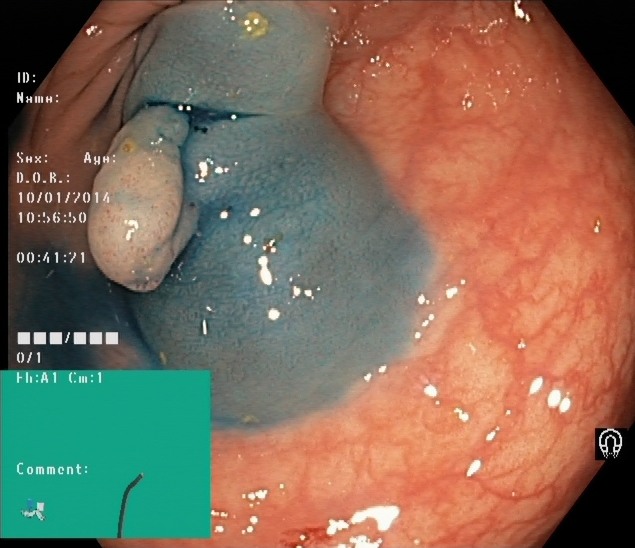Dyed and lifted polyp (pre-resection).